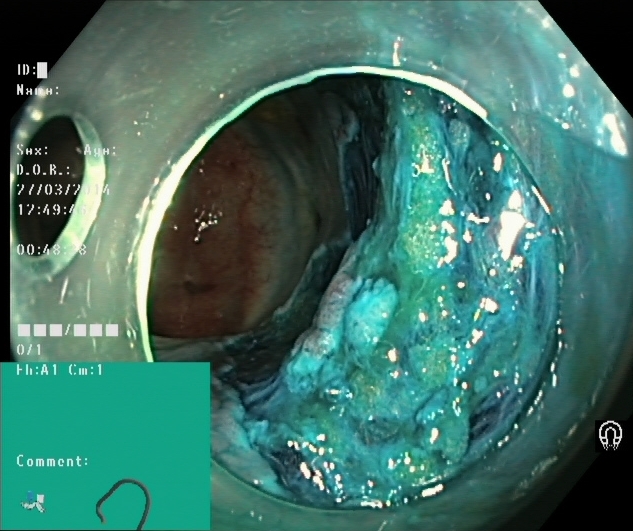Endoscopy image showing dyed resection margins (post-polypectomy).